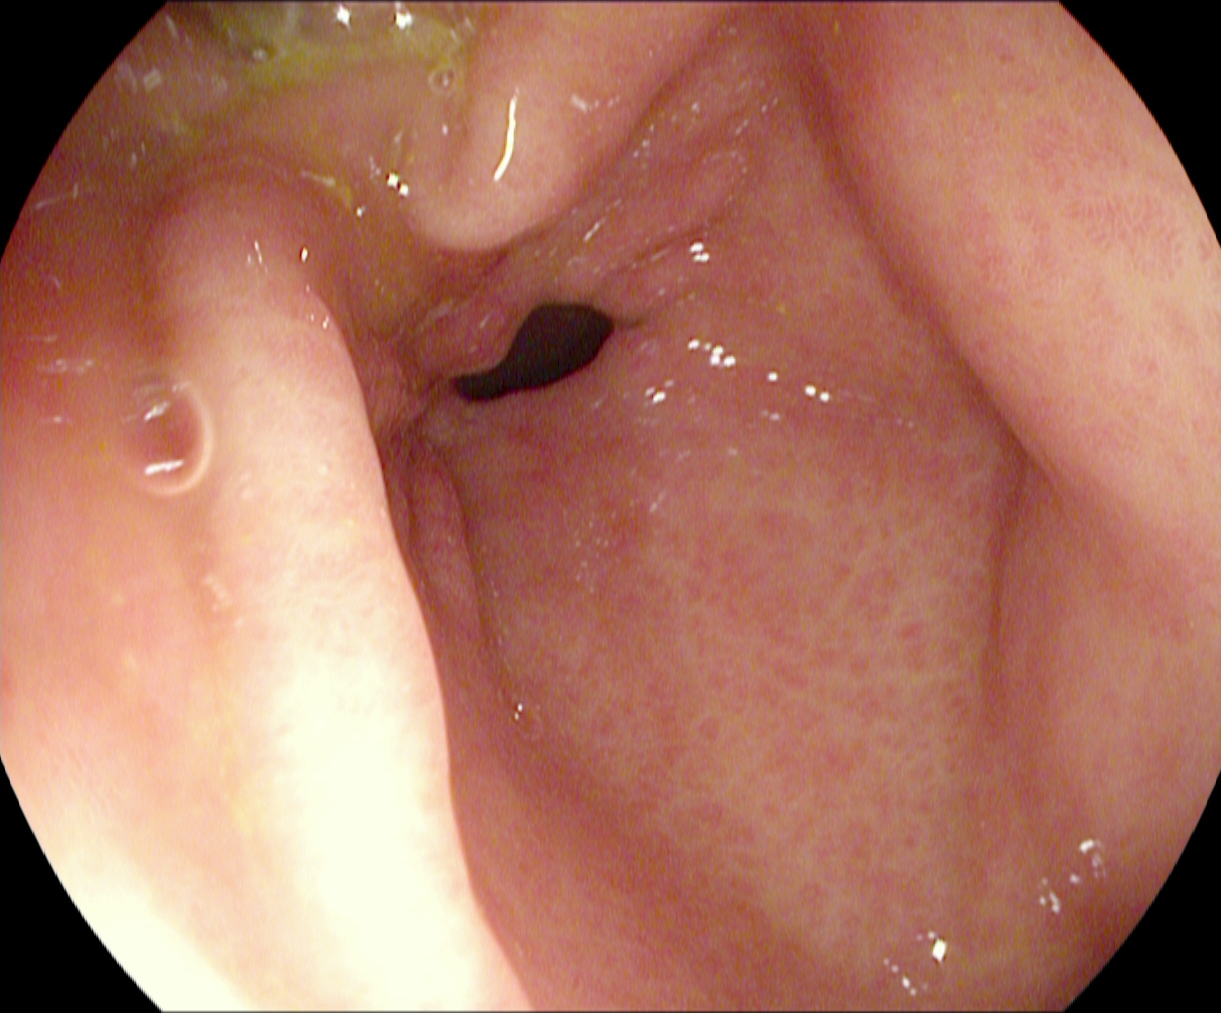PROCEDURE: Gastroscopy.
CATEGORY: Anatomical landmark.
FINDINGS: Pylorus.